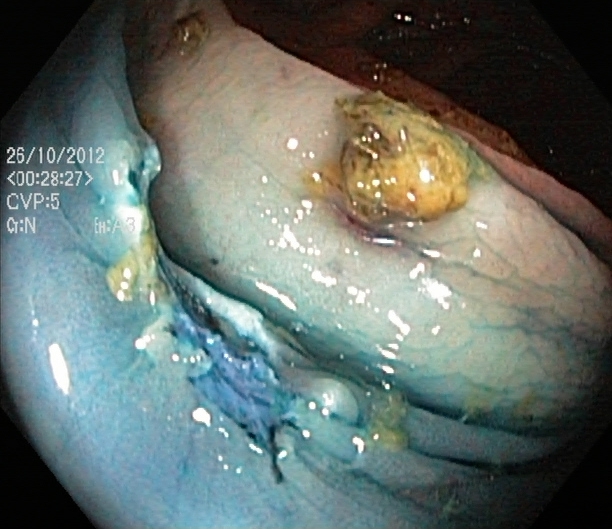Colonoscopy — dyed resection margins (post-polypectomy).